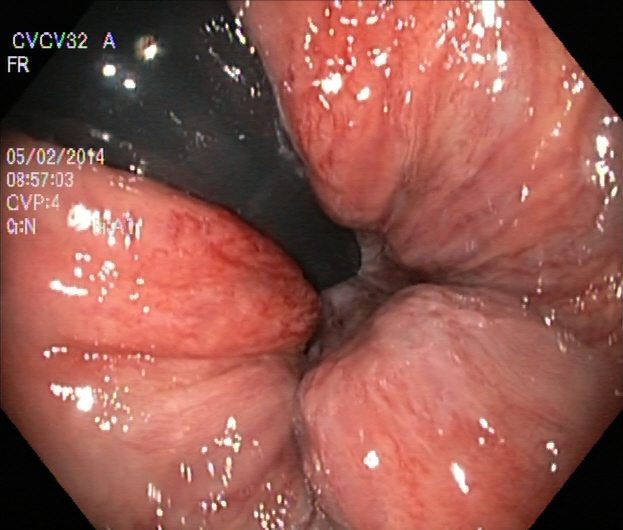PROCEDURE: Lower-GI endoscopy.
CATEGORY: Pathological finding.
FINDINGS: Hemorrhoids.